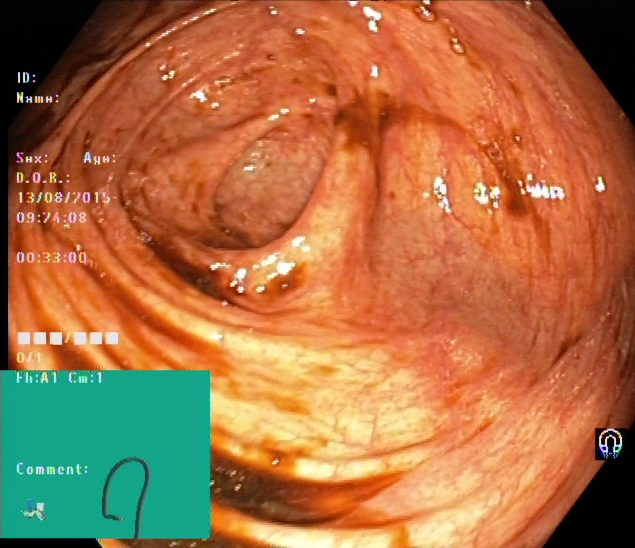{"modality": "lower gastrointestinal endoscopy", "finding": "cecum"}